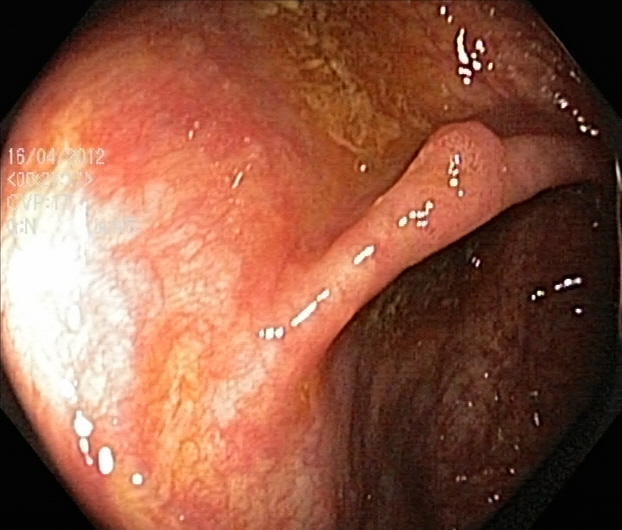Colonoscopy. Pathological finding. Finding: ulcerative colitis, Mayo endoscopic subscore 1.